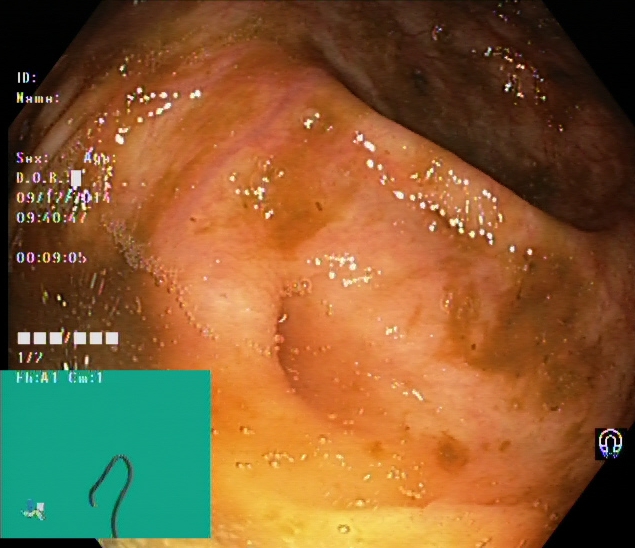cecum.